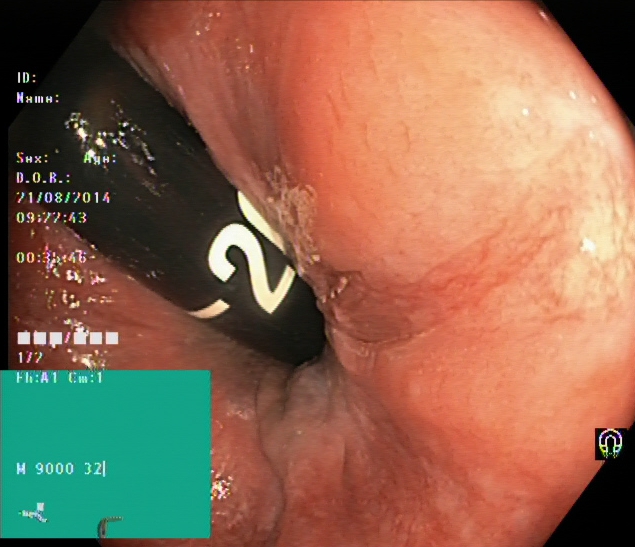PROCEDURE: Lower-GI endoscopy.
FINDINGS: Rectum in retroflexion.